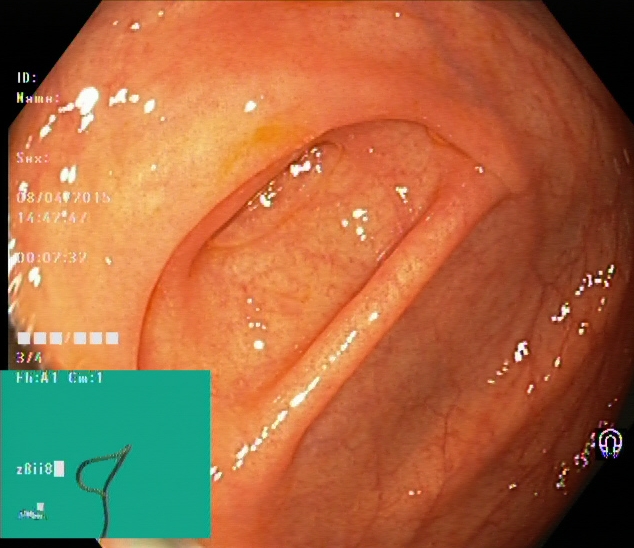Lower-GI endoscopy image of the lower GI tract showing cecum.